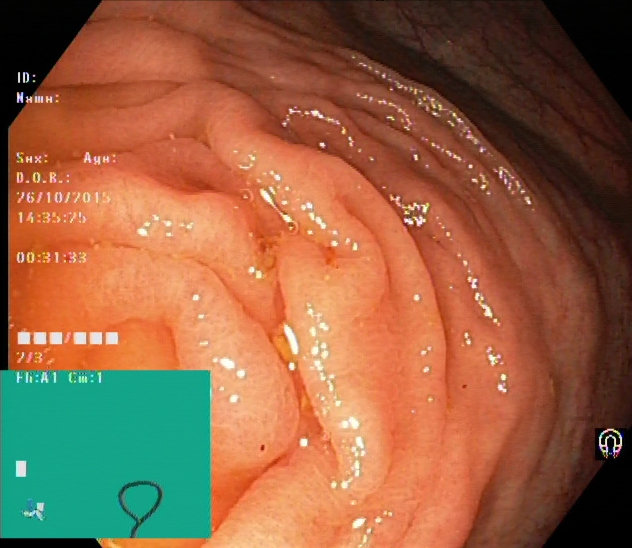Colonoscopy — cecum.